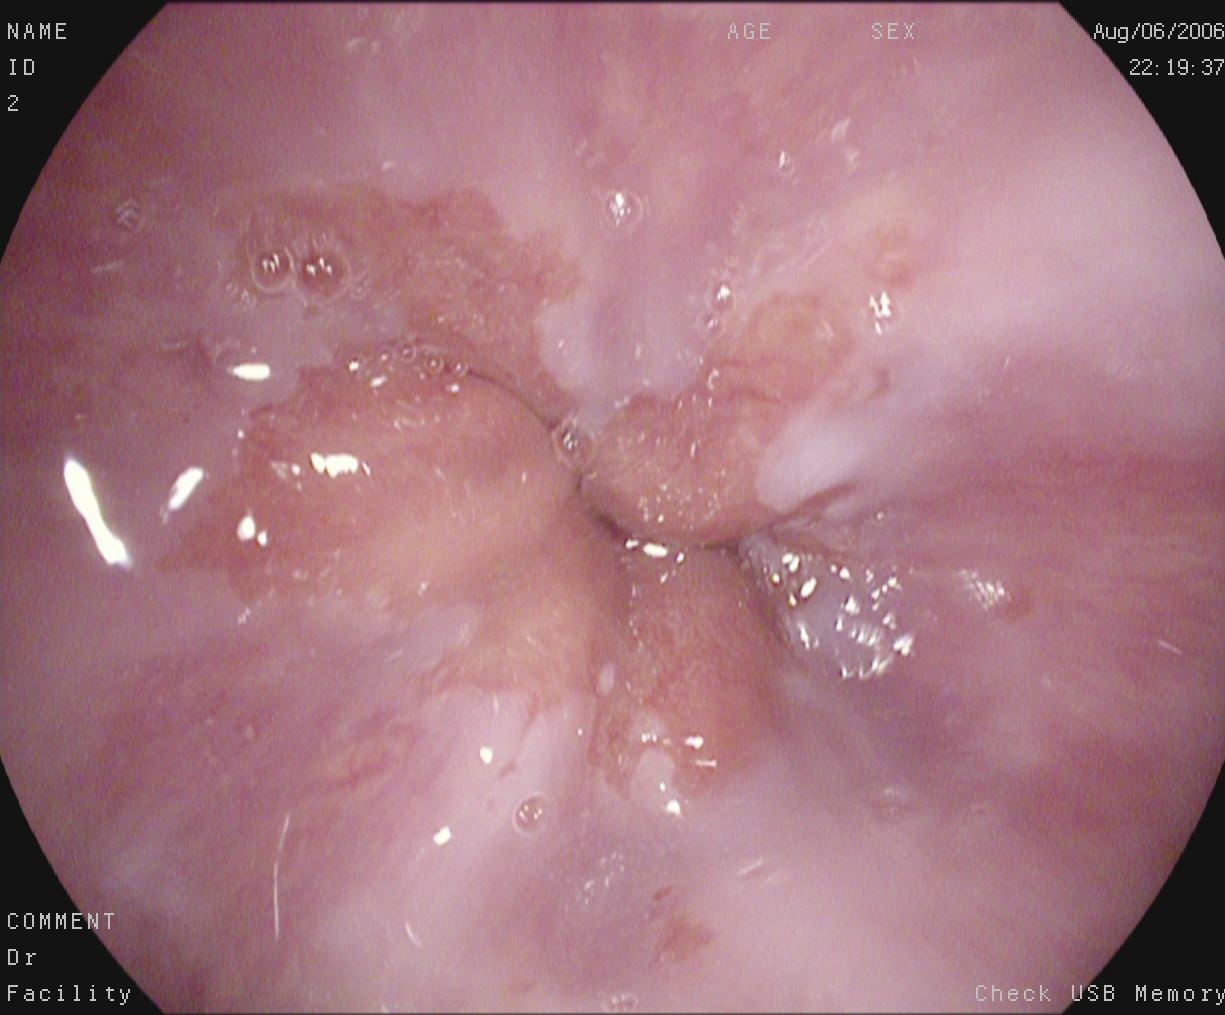EGD. Anatomical landmark. Finding: Z-line (gastroesophageal junction).